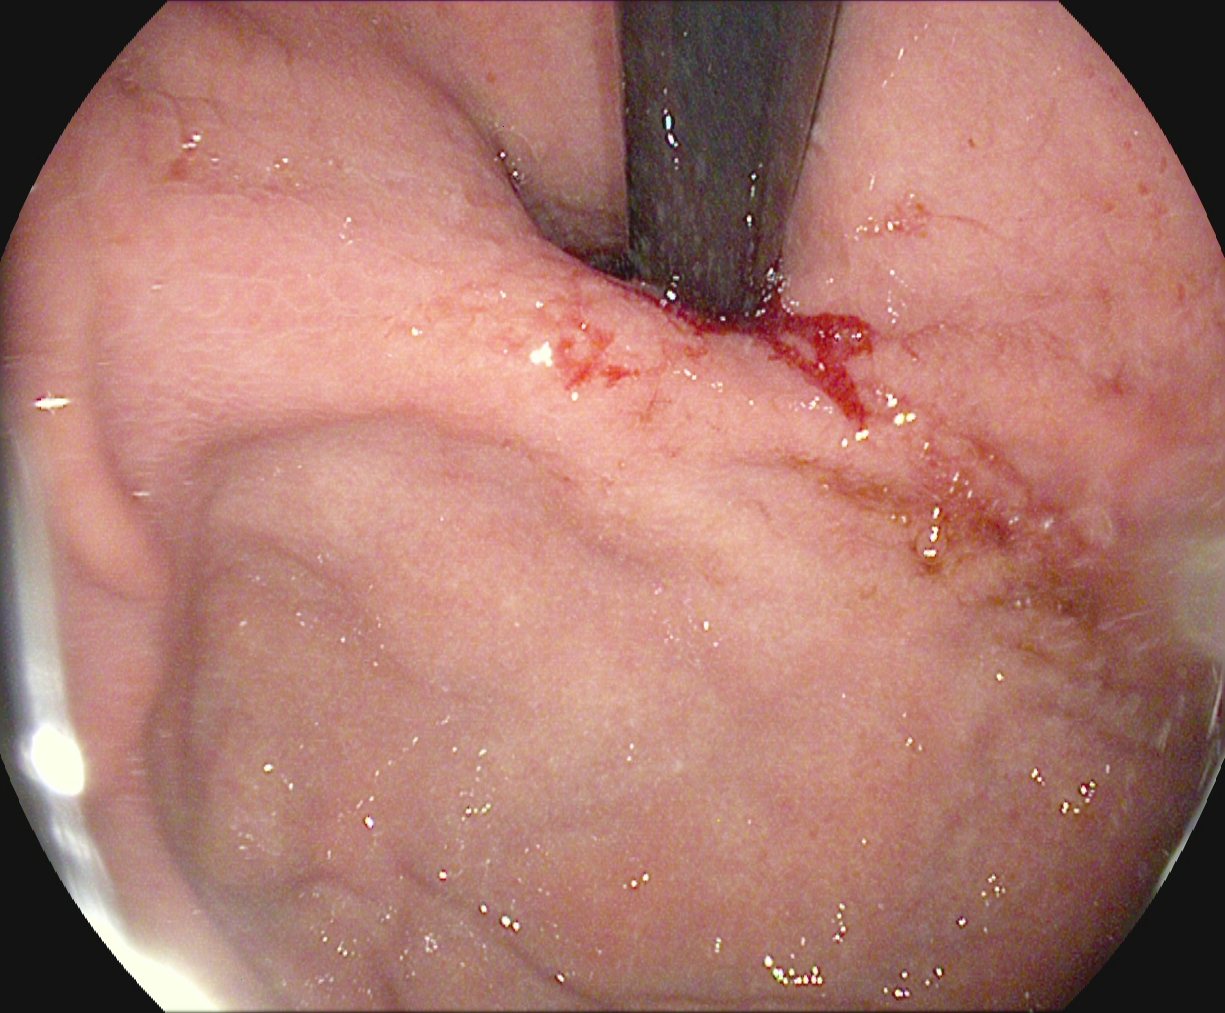modality: esophagogastroduodenoscopy
tract: upper GI tract
category: anatomical landmark
finding: stomach in retroflexion